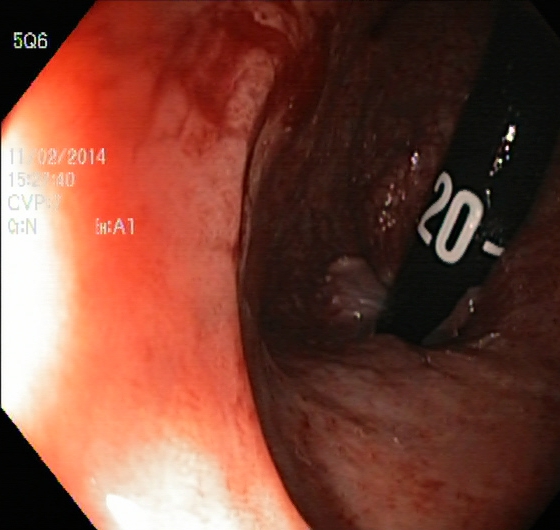PROCEDURE: Colonoscopy.
CATEGORY: Anatomical landmark.
FINDINGS: Rectum in retroflexion.